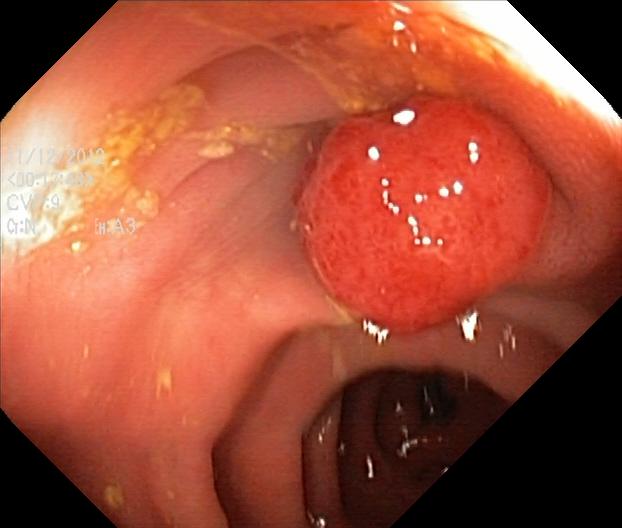Colorectal polyp(s).